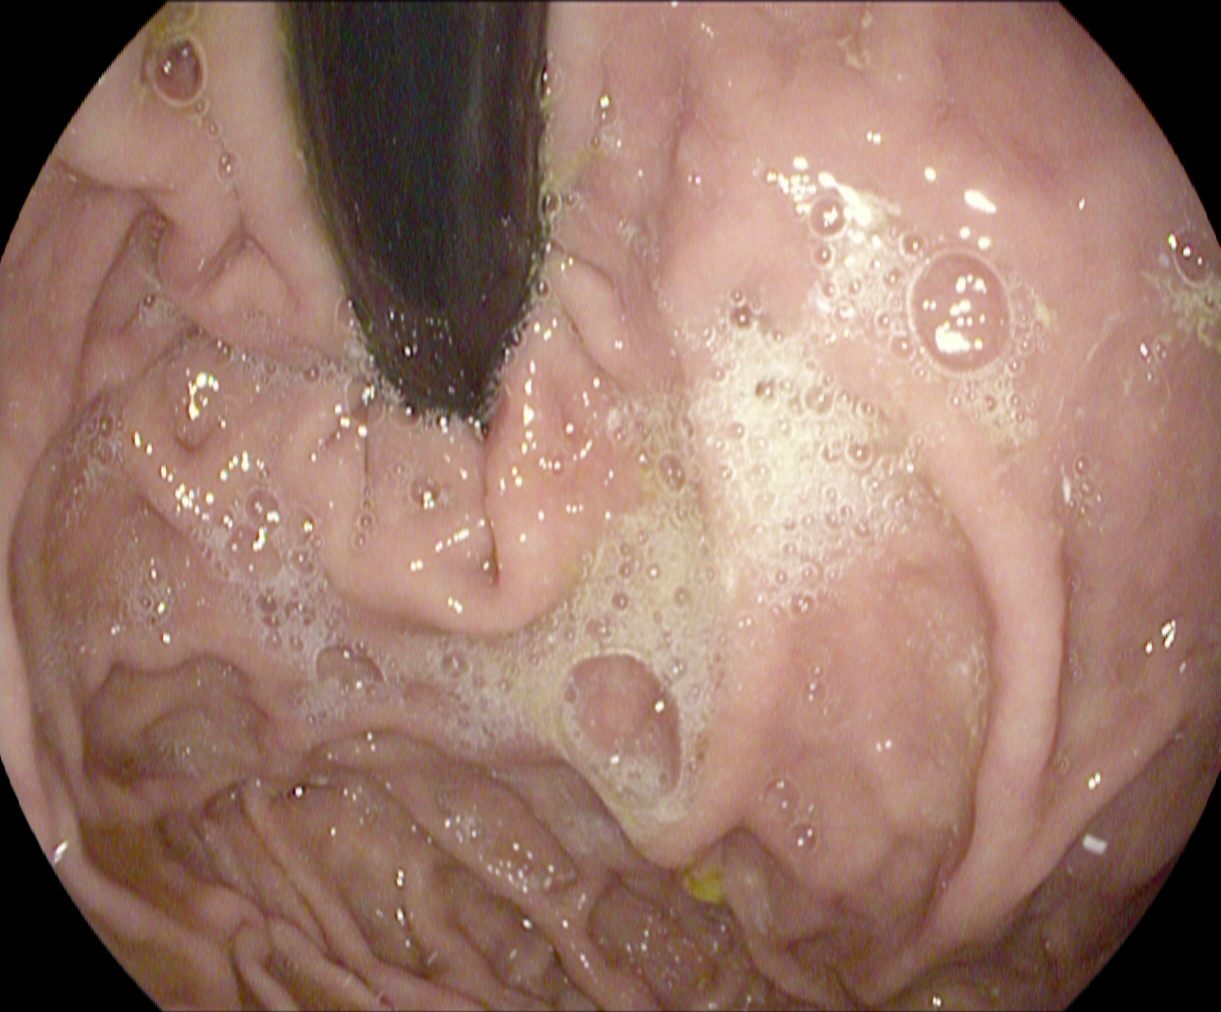Stomach in retroflexion.